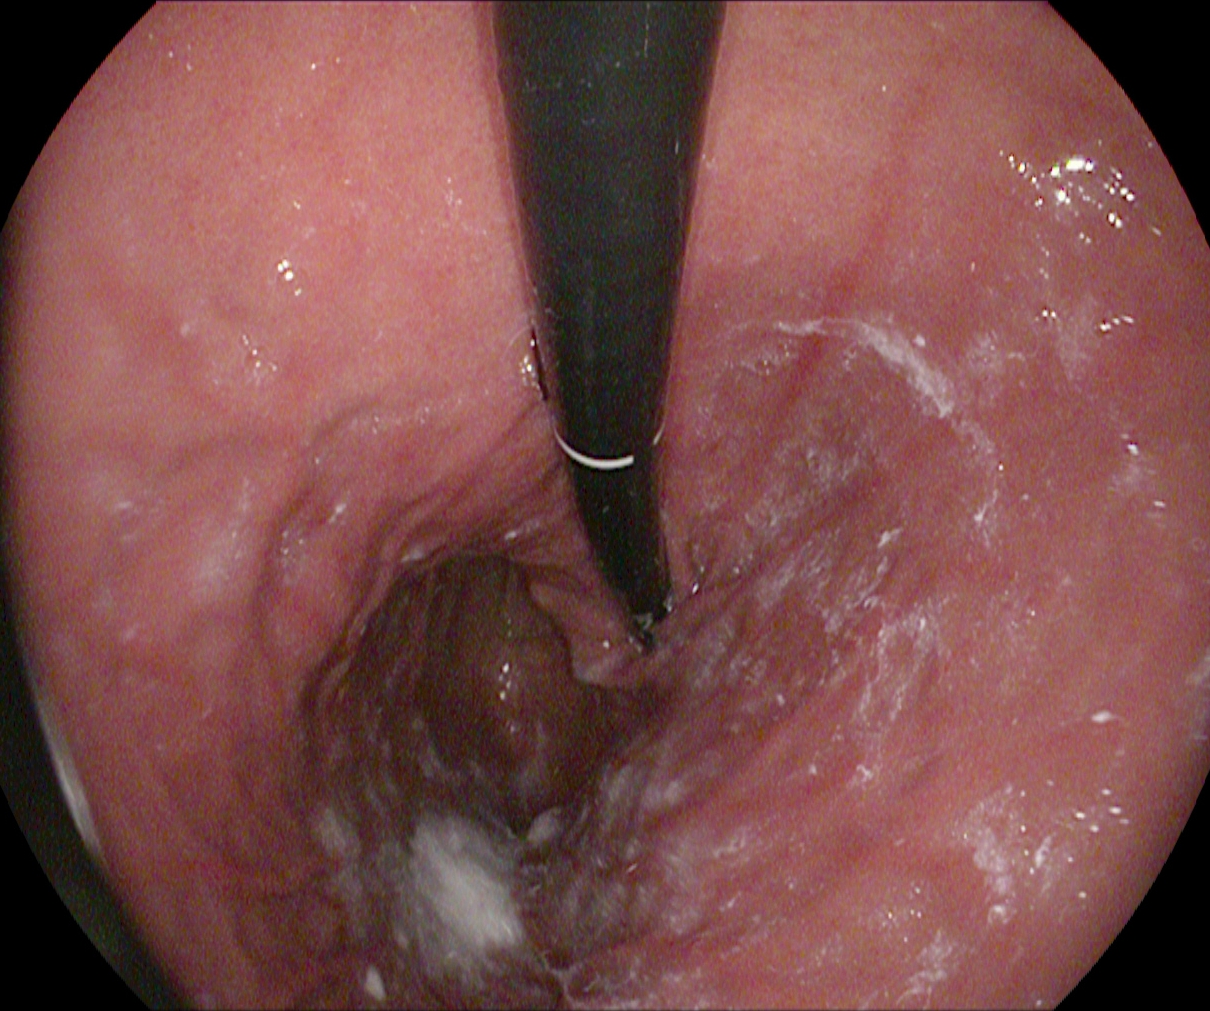Stomach in retroflexion.